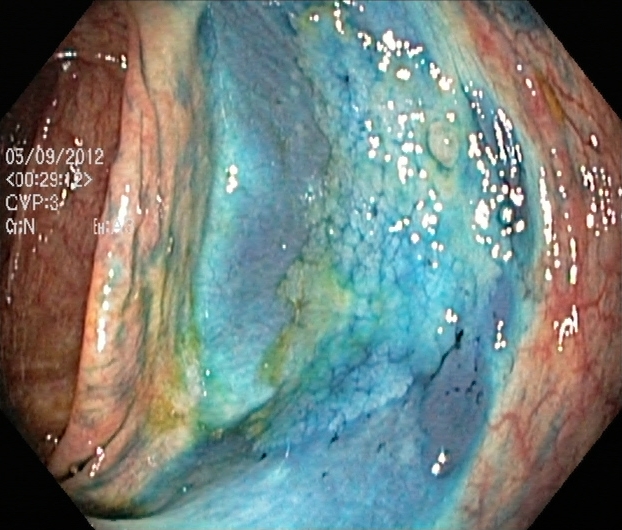Gastrointestinal endoscopy image of the lower GI tract showing dyed and lifted polyp (pre-resection).